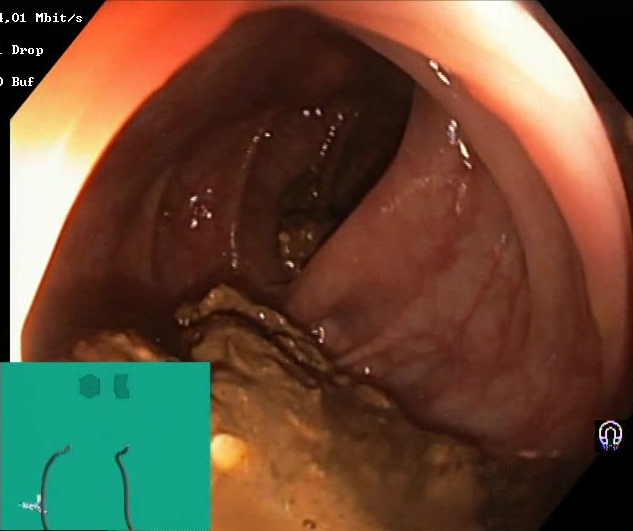Lower gastrointestinal endoscopy. Tract: lower GI tract. Finding: Boston Bowel Preparation Scale score 0–1 (inadequate preparation).